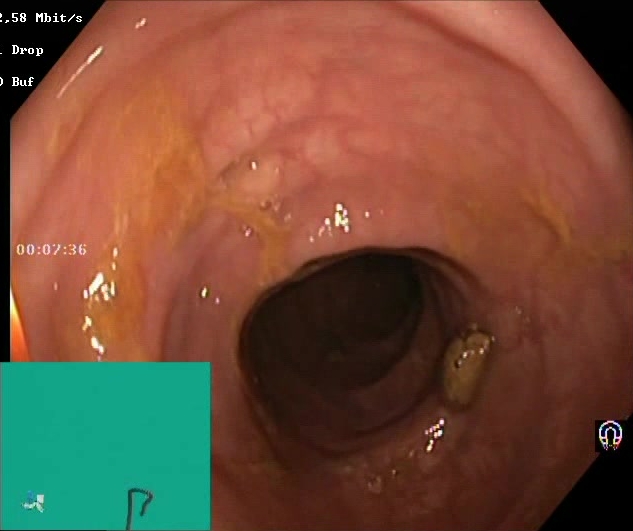Endoscopic frame of the lower GI tract showing Boston Bowel Preparation Scale score 2–3 (adequate preparation).